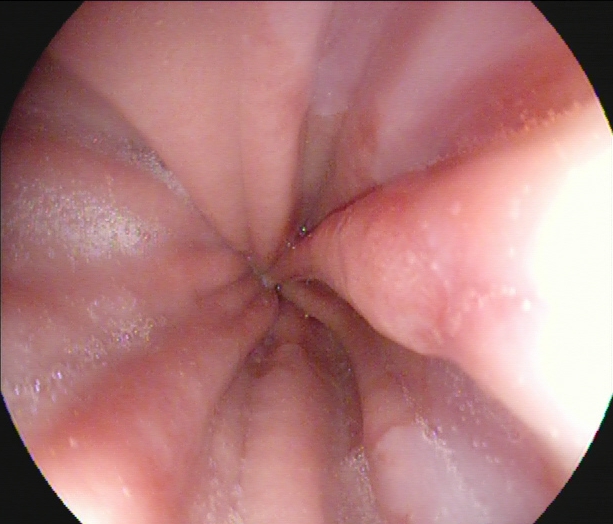Z-line (gastroesophageal junction).